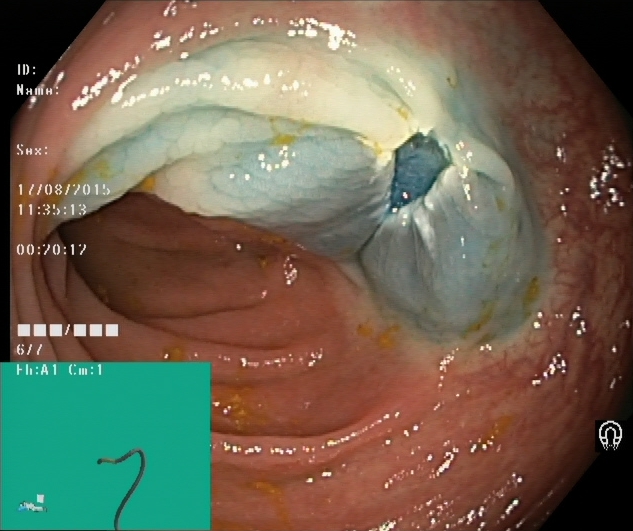modality: lower-GI endoscopy | category: therapeutic intervention | finding: dyed resection margins (post-polypectomy)